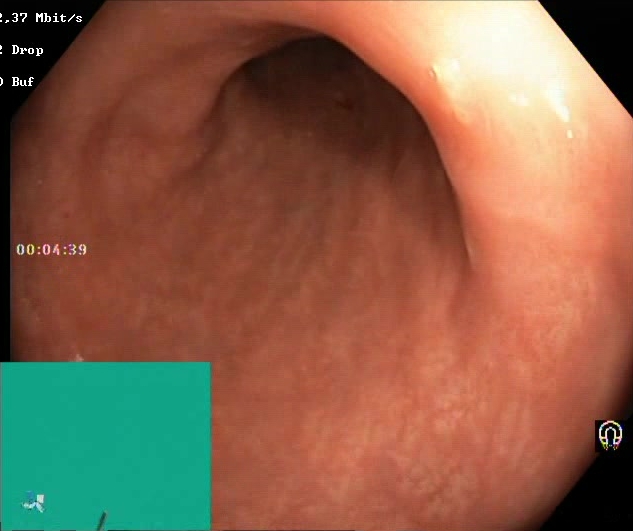BBPS score 2–3 (adequate preparation).